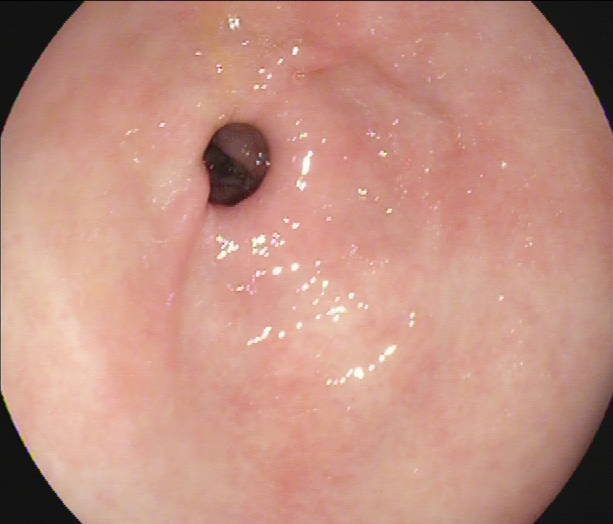EGD. Anatomical landmark. Finding: pylorus.